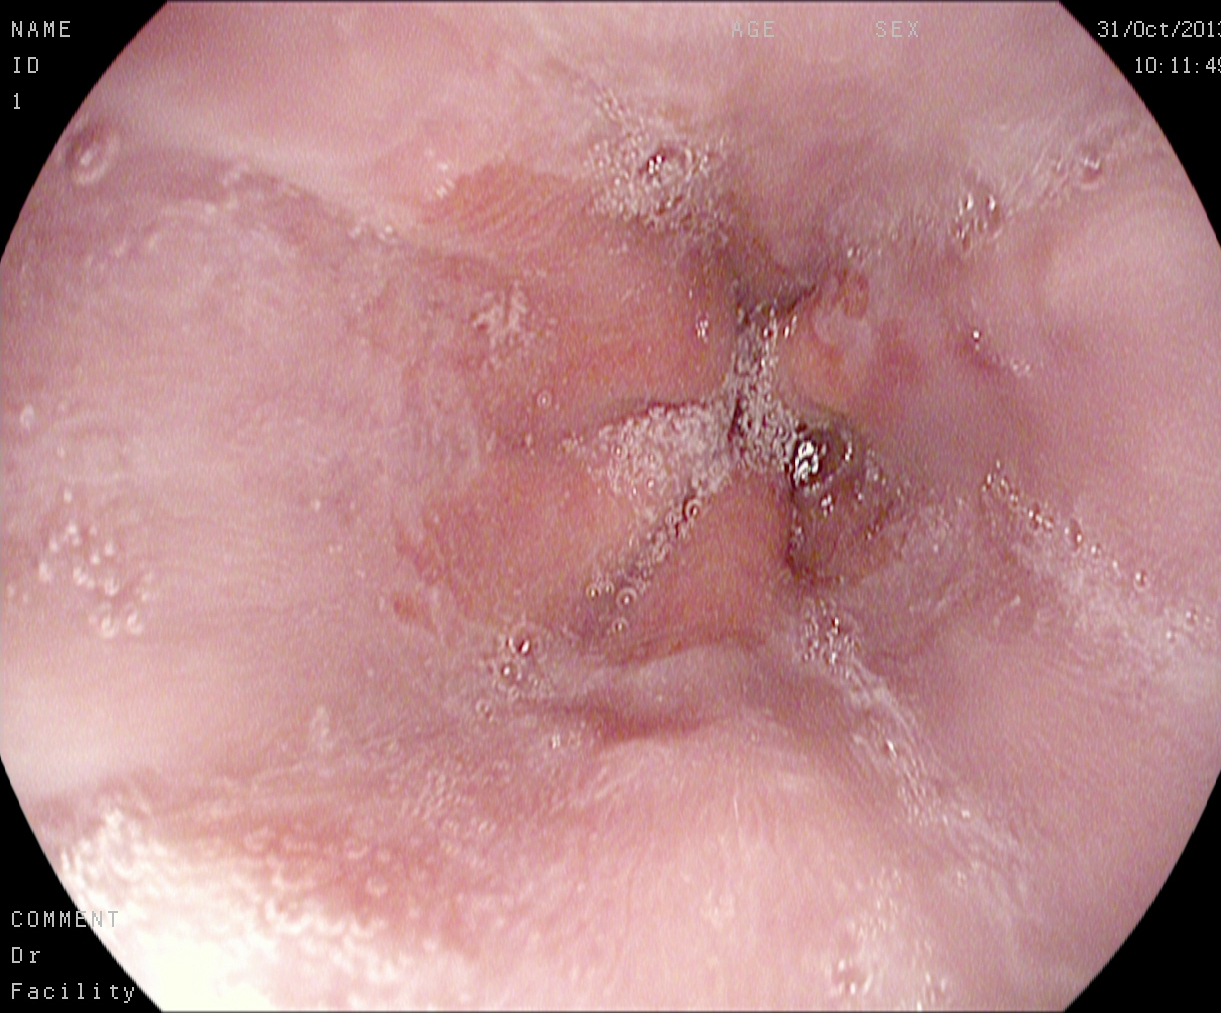modality: upper-GI endoscopy | tract: upper GI tract | category: pathological finding | finding: reflux esophagitis, LA grade A